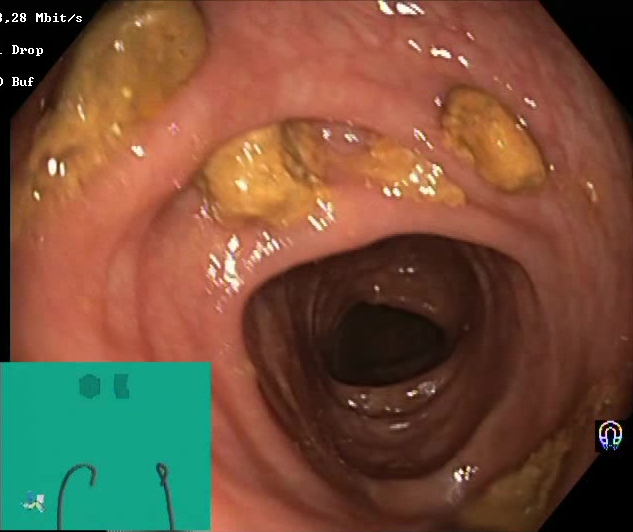Lower gastrointestinal endoscopy — impacted stool.